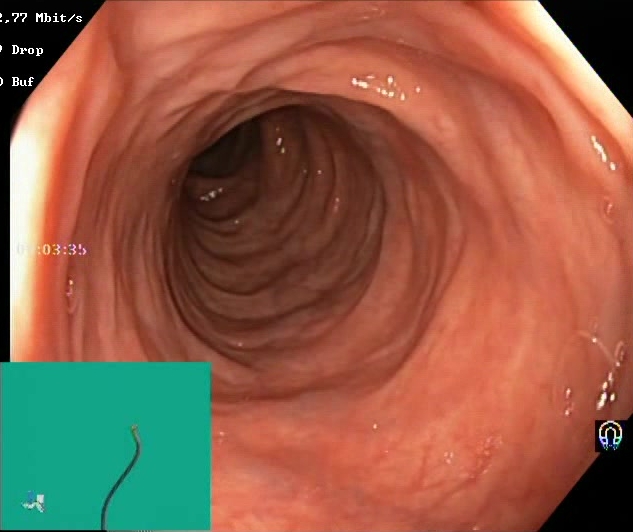Colonoscopy. Tract: lower GI tract. Finding: Boston Bowel Preparation Scale score 2–3 (adequate preparation).